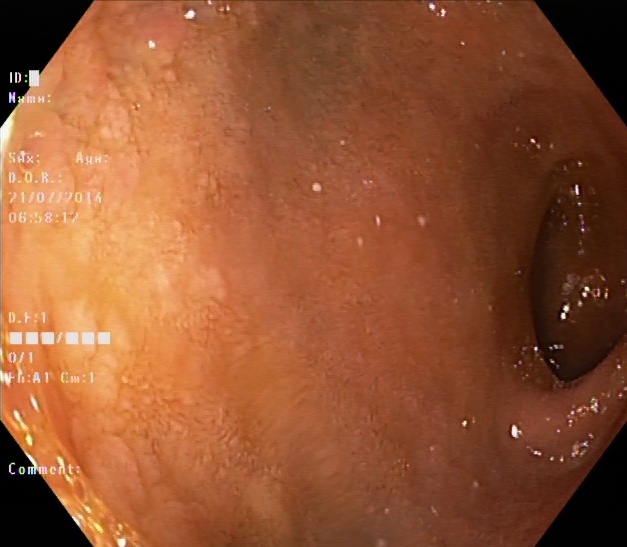Endoscopy image of the lower GI tract showing ulcerative colitis, Mayo endoscopic subscore 1.